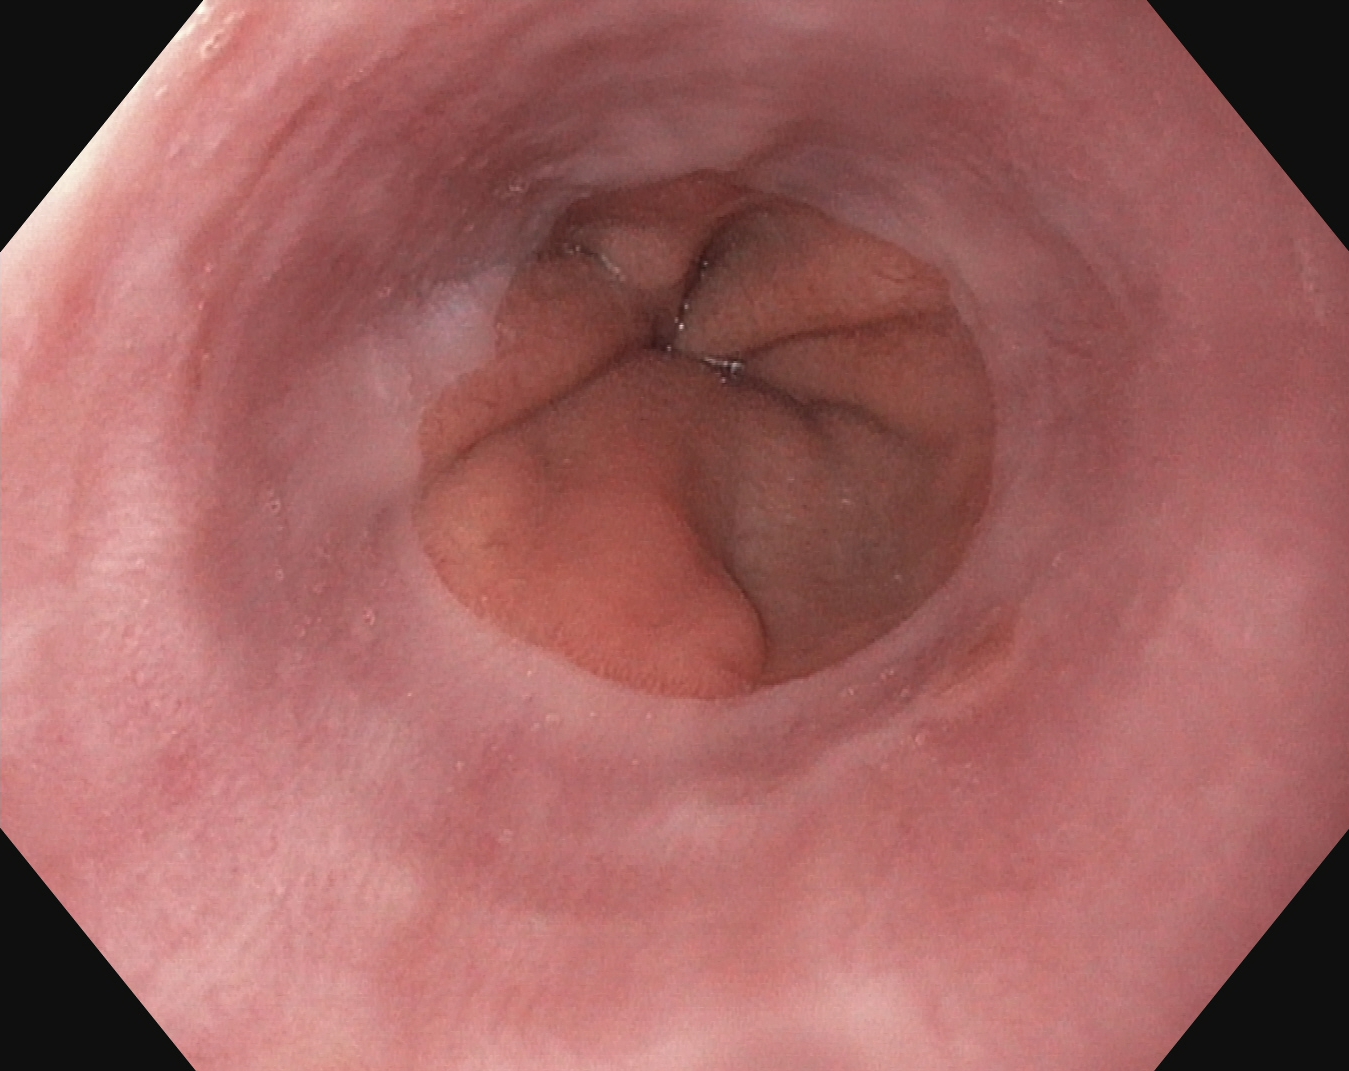PROCEDURE: Upper-GI endoscopy.
FINDINGS: Z-line (gastroesophageal junction).